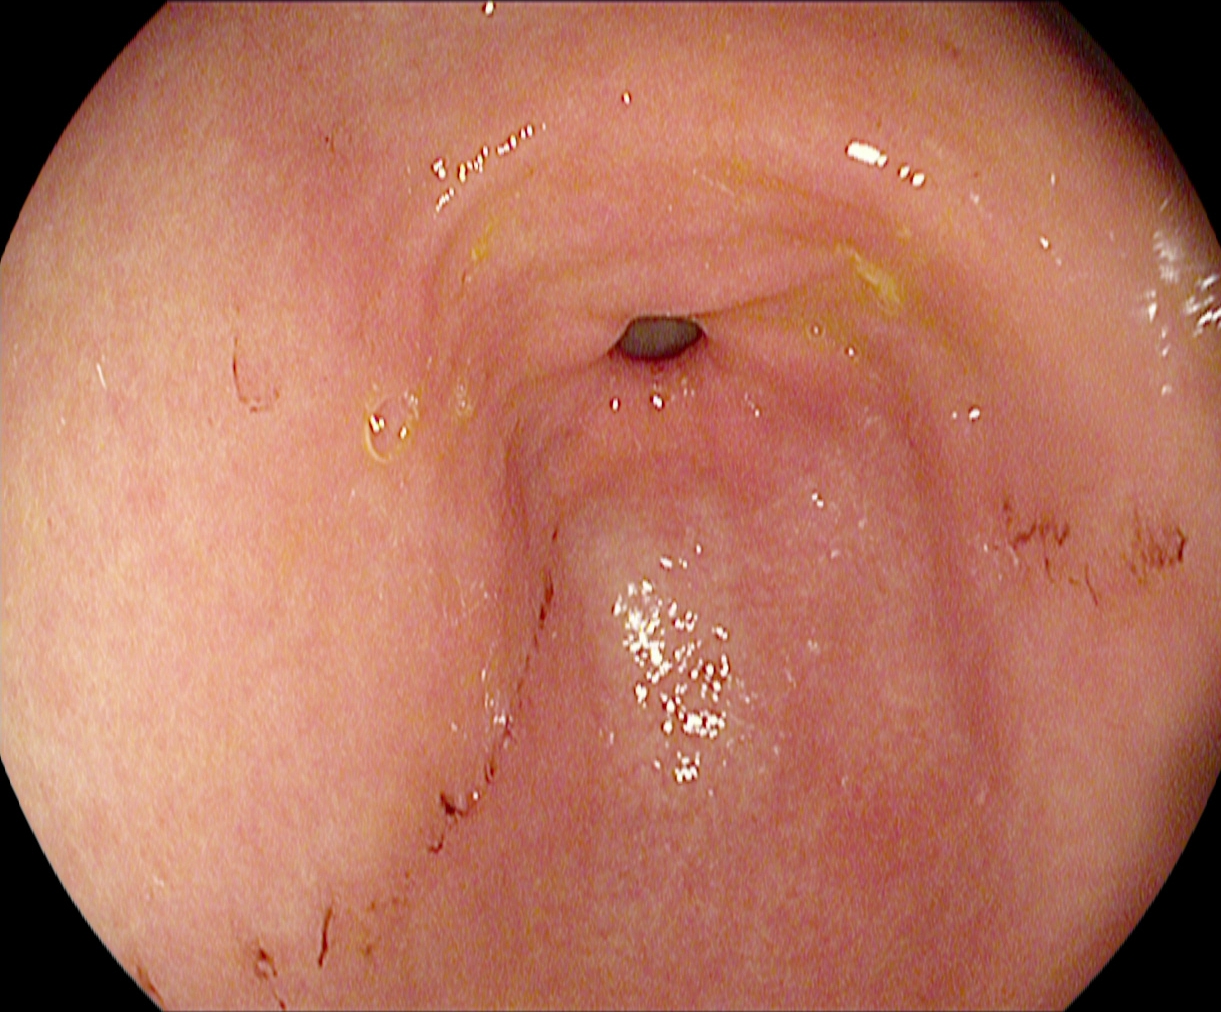Pylorus.